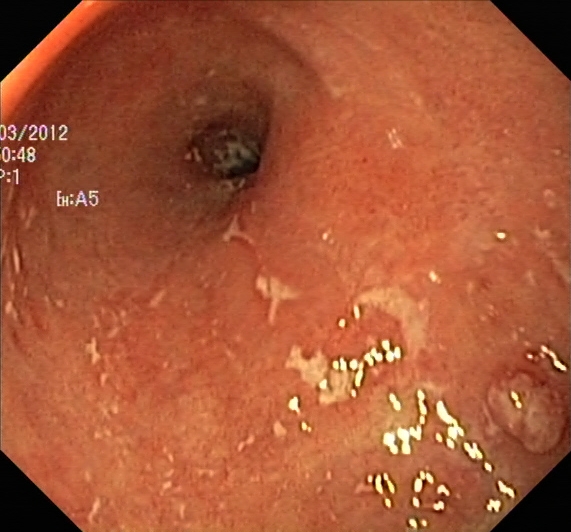UC, Mayo endoscopic subscore 2.